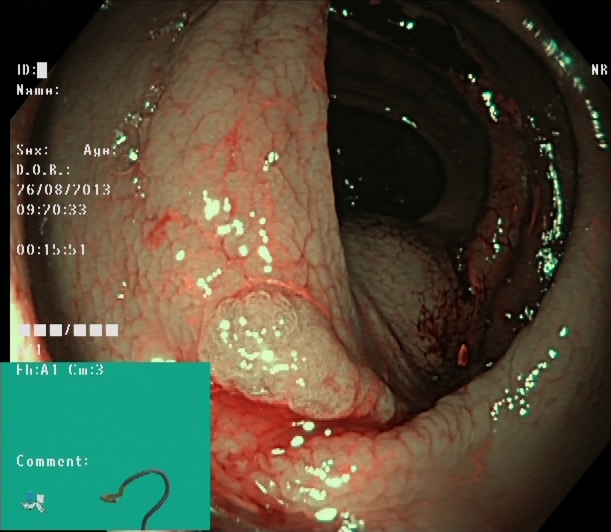modality: lower gastrointestinal endoscopy; tract: lower GI tract; category: therapeutic intervention; finding: dyed and lifted polyp (pre-resection)